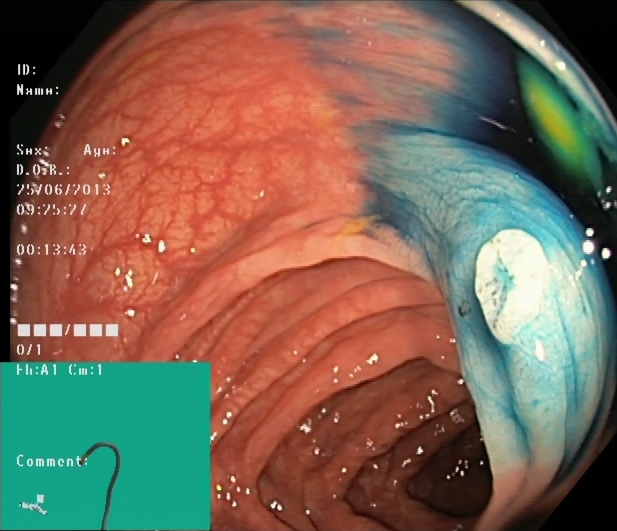This endoscopic image of the lower GI tract shows dyed resection margins (post-polypectomy).